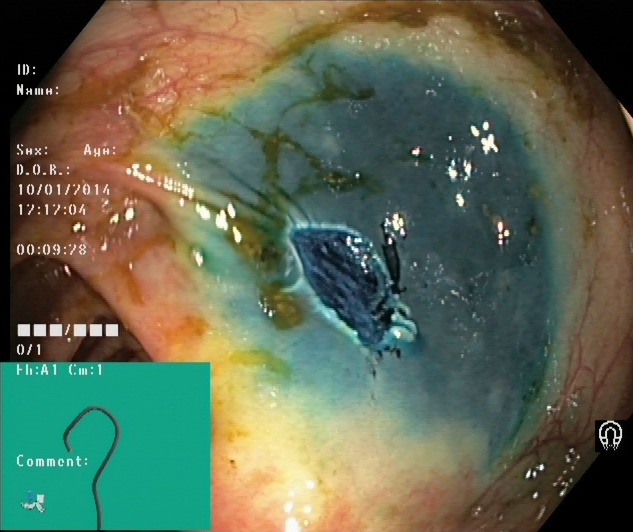modality: lower gastrointestinal endoscopy
tract: lower GI tract
finding: dyed resection margins (post-polypectomy)